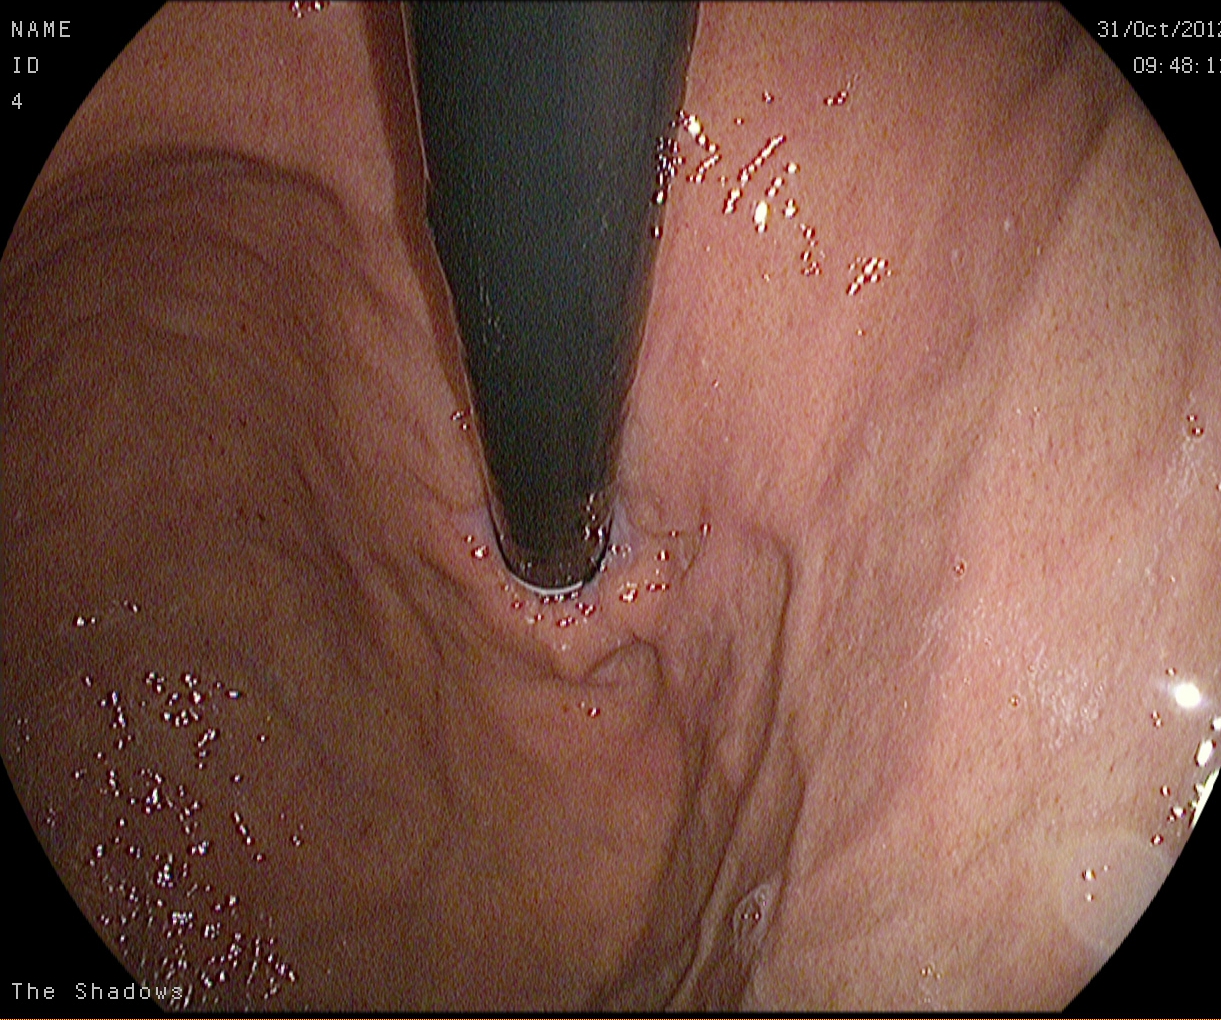This endoscopy frame of the upper GI tract shows stomach in retroflexion.